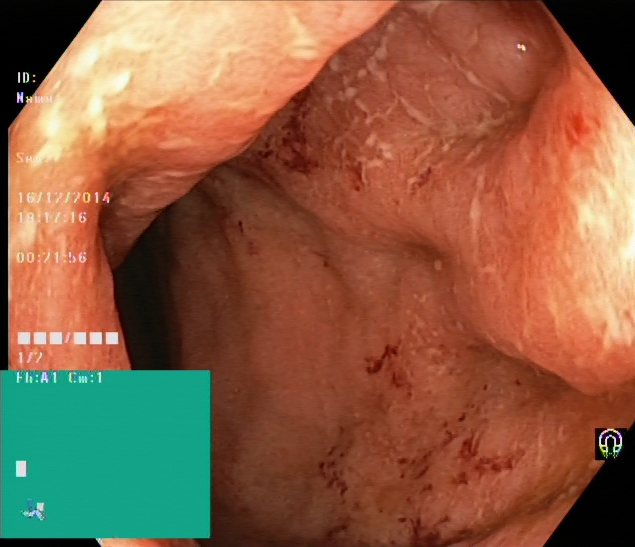Lower-GI endoscopy — ulcerative colitis, Mayo endoscopic subscore 2.